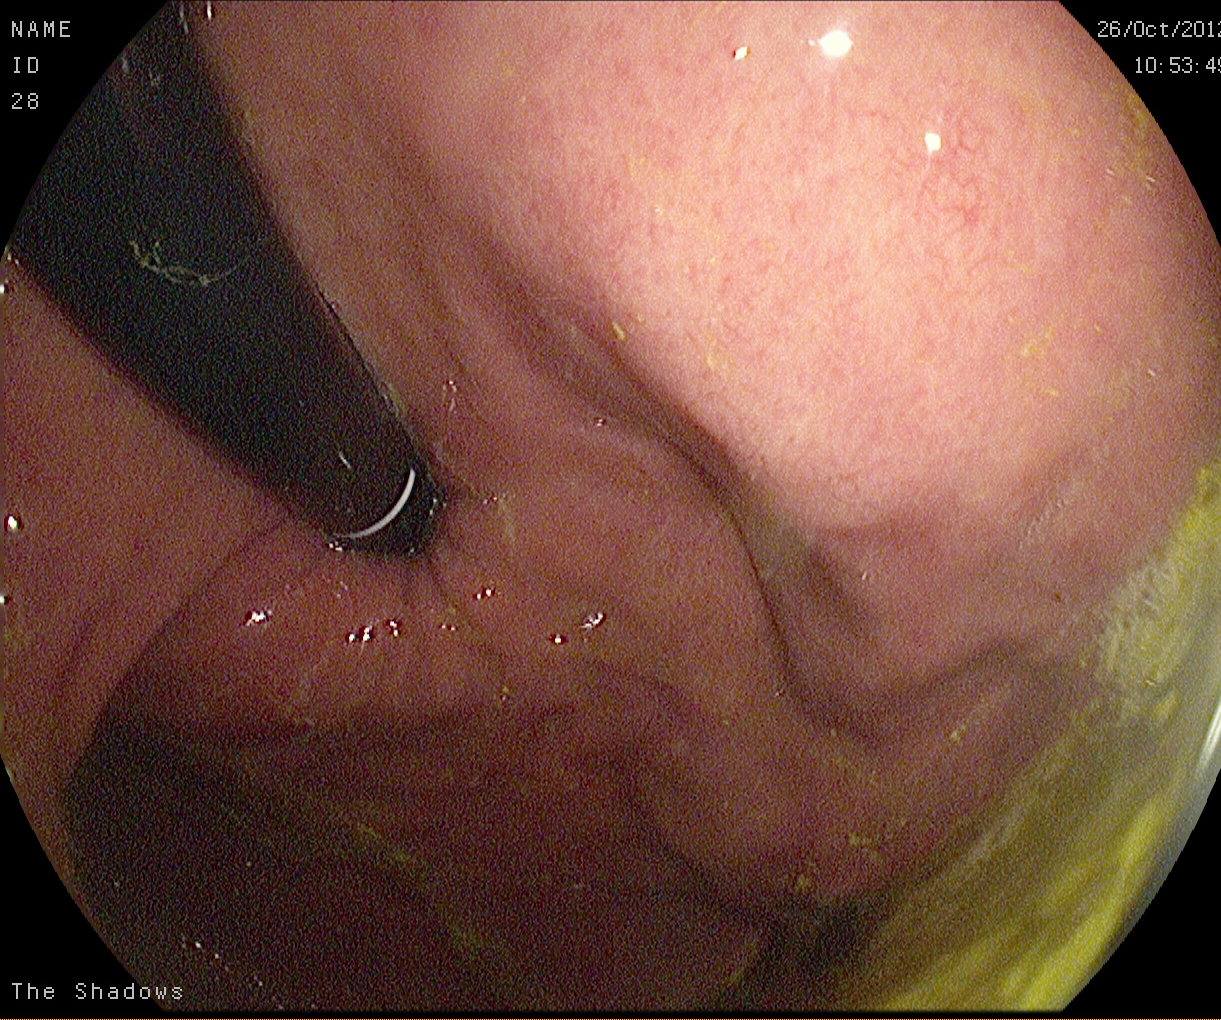EGD. Tract: upper GI tract. Anatomical landmark. Finding: stomach in retroflexion.